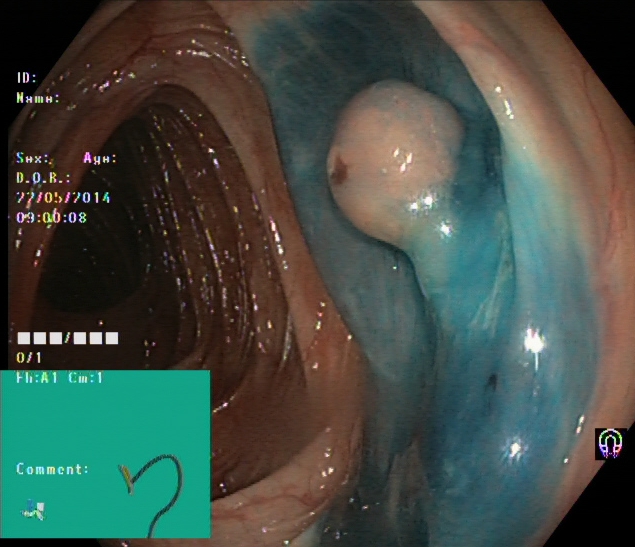Colonoscopy. Tract: lower GI tract. Finding: dyed and lifted polyp (pre-resection).